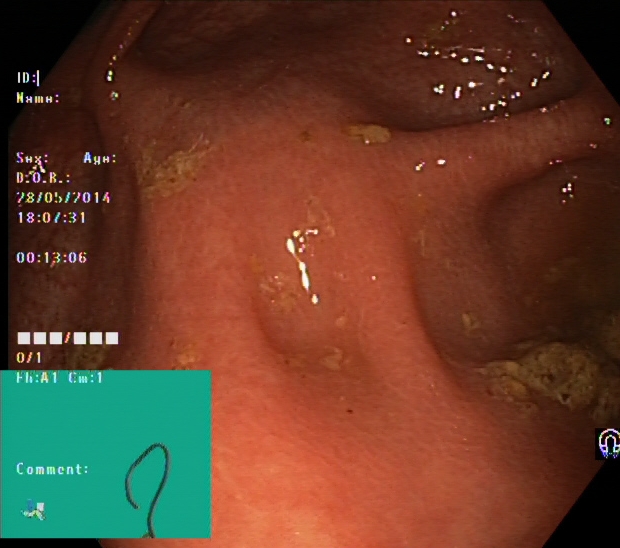cecum.